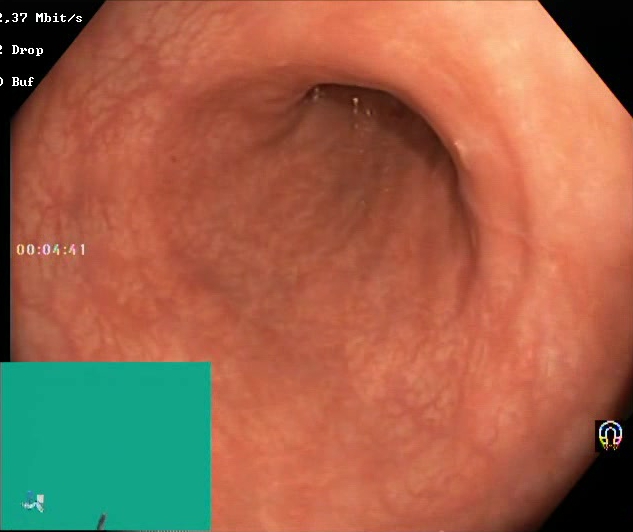modality: lower gastrointestinal endoscopy
finding: Boston Bowel Preparation Scale score 2–3 (adequate preparation)